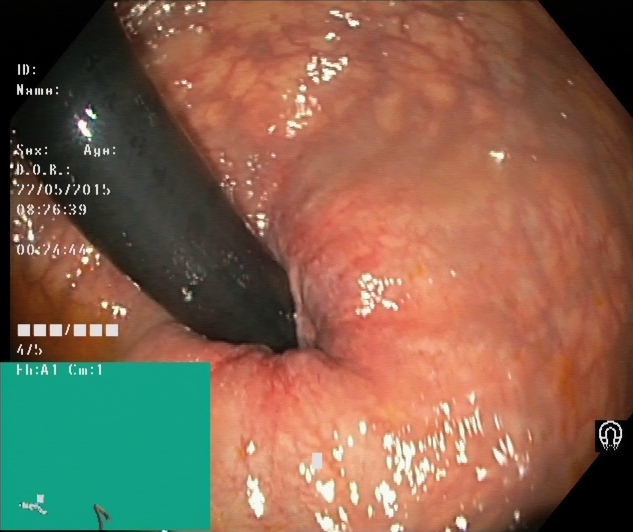This endoscopy frame of the lower GI tract shows rectum in retroflexion.